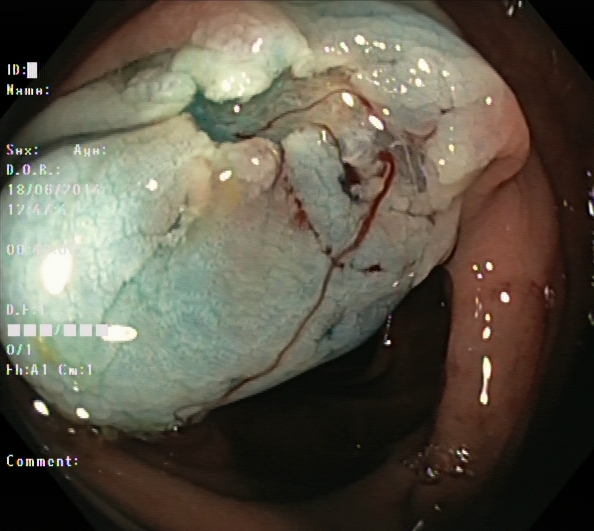Colonoscopy — dyed resection margins (post-polypectomy).